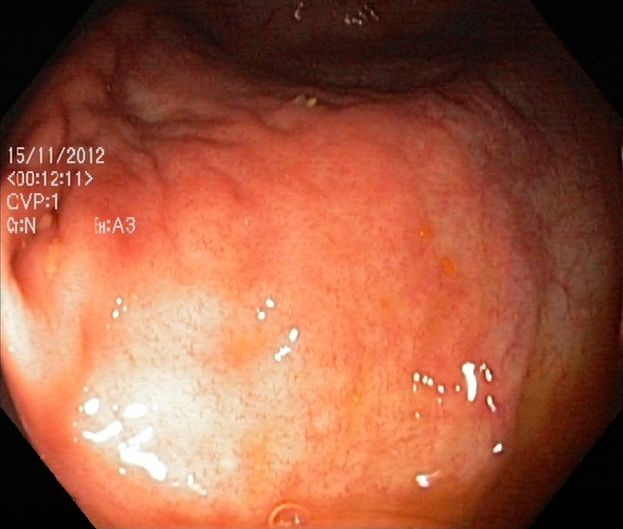{"modality": "colonoscopy", "category": "pathological finding", "finding": "ulcerative colitis, Mayo endoscopic subscore 1"}